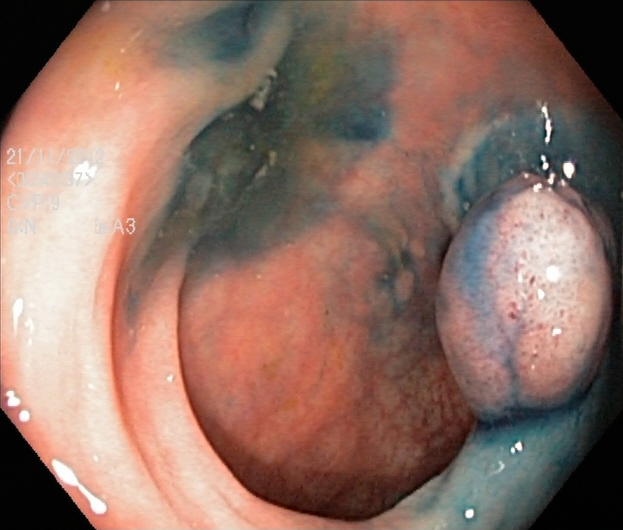Dyed and lifted polyp (pre-resection).